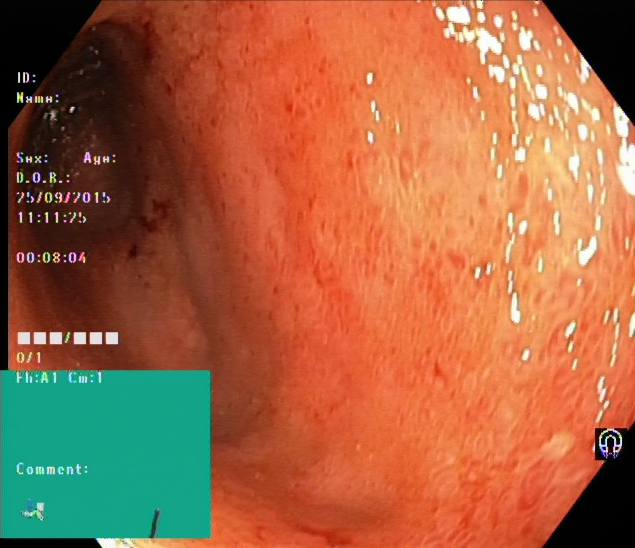UC, Mayo endoscopic subscore 2.